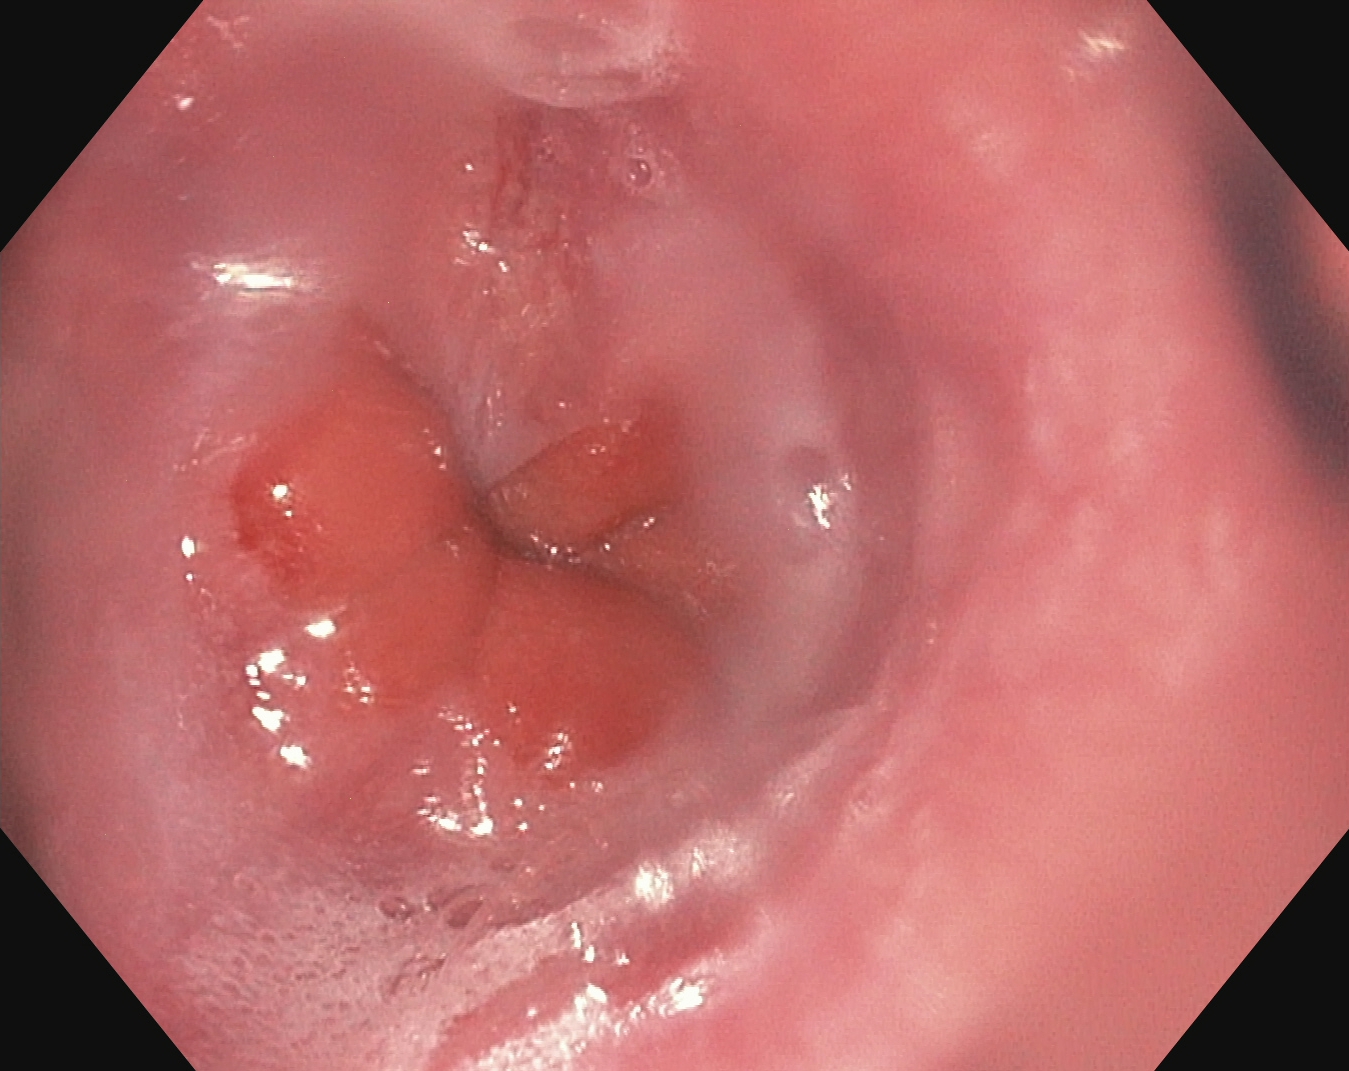{"modality": "upper-GI endoscopy", "finding": "Z-line (gastroesophageal junction)"}